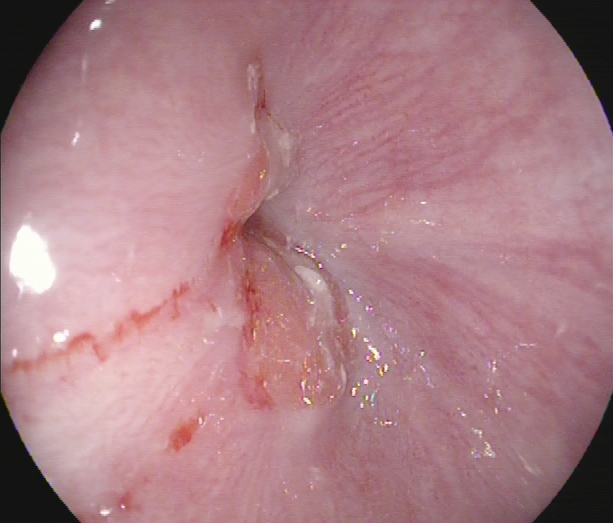{"modality": "EGD", "tract": "upper GI tract", "finding": "reflux esophagitis, LA grade A"}